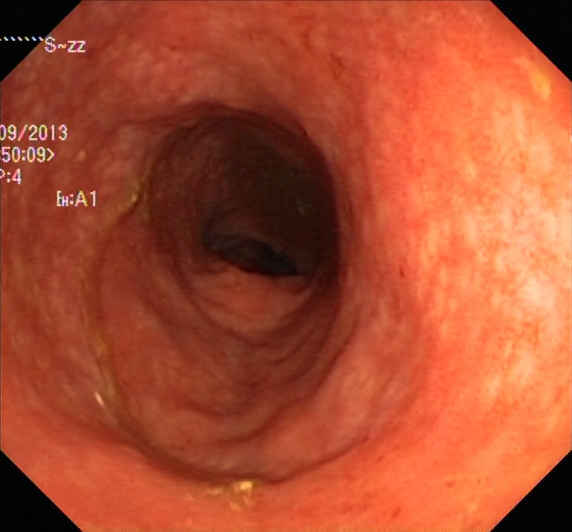Colonoscopy. Finding: ulcerative colitis, Mayo endoscopic subscore 1.